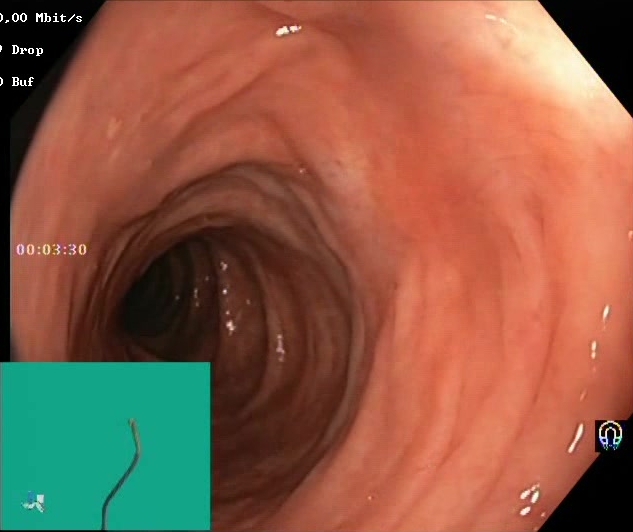Colonoscopy — BBPS score 2–3 (adequate preparation).